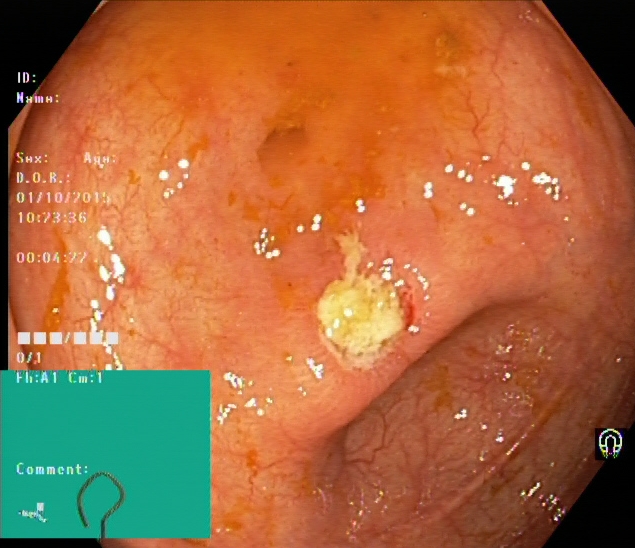Cecum.